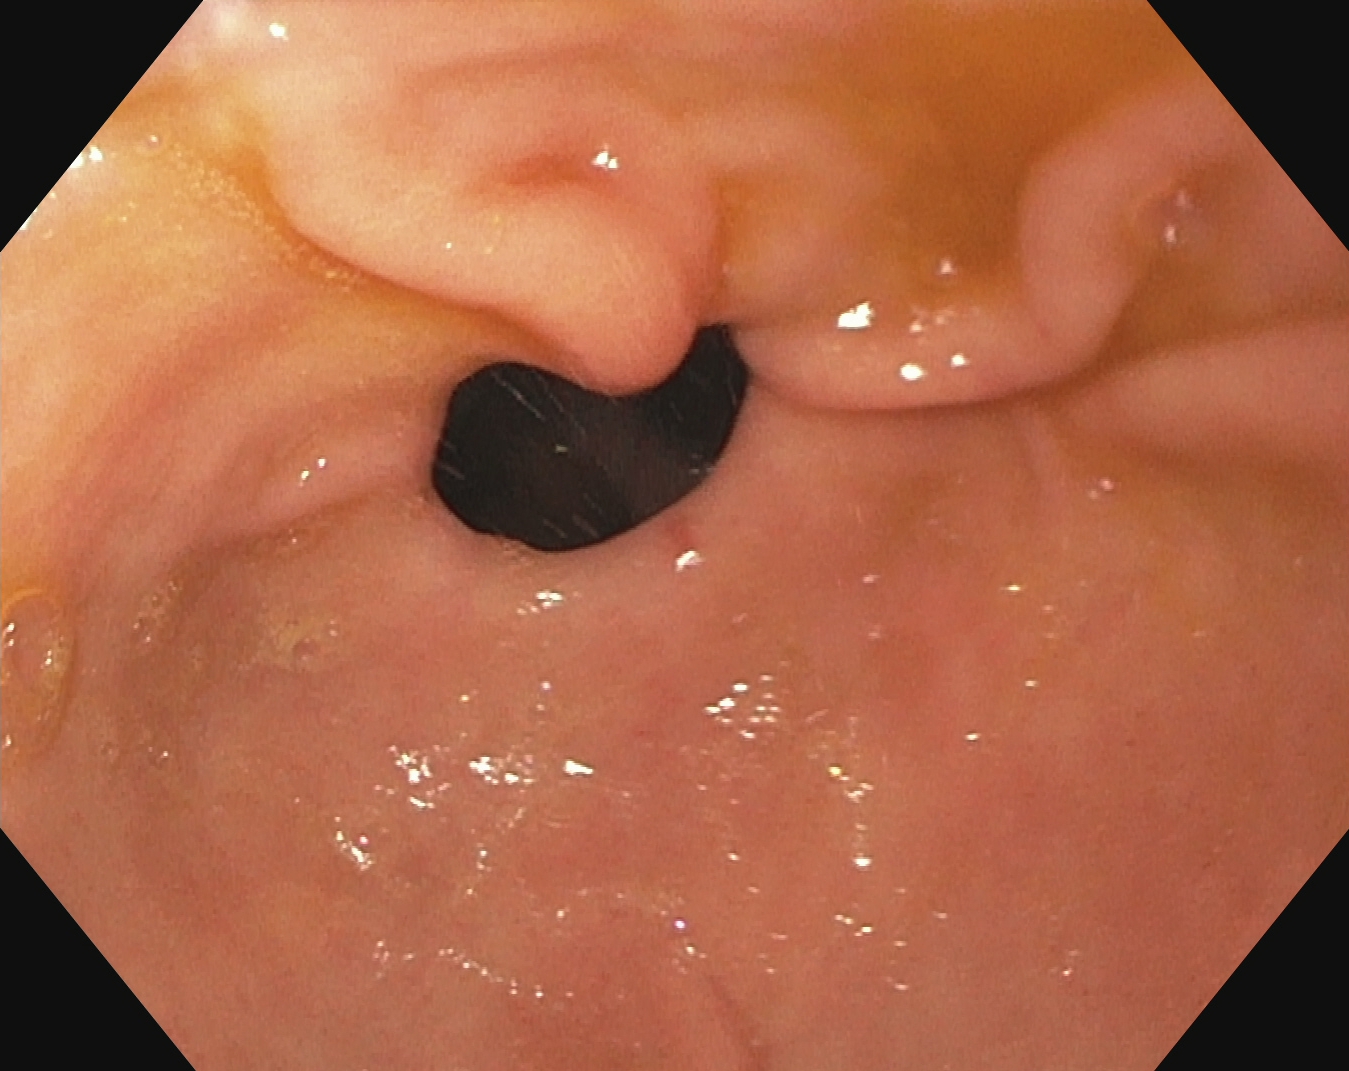Gastroscopy. Tract: upper GI tract. Anatomical landmark. Finding: pylorus.